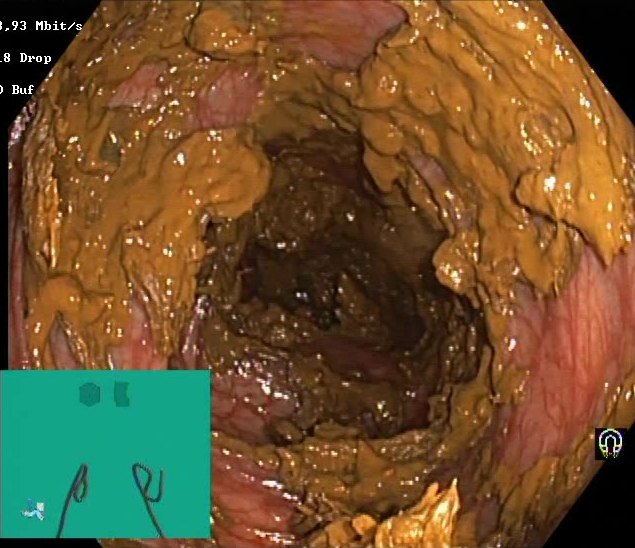{"modality": "lower-GI endoscopy", "tract": "lower GI tract", "category": "mucosal-view quality", "finding": "BBPS score 0\u20131 (inadequate preparation)"}